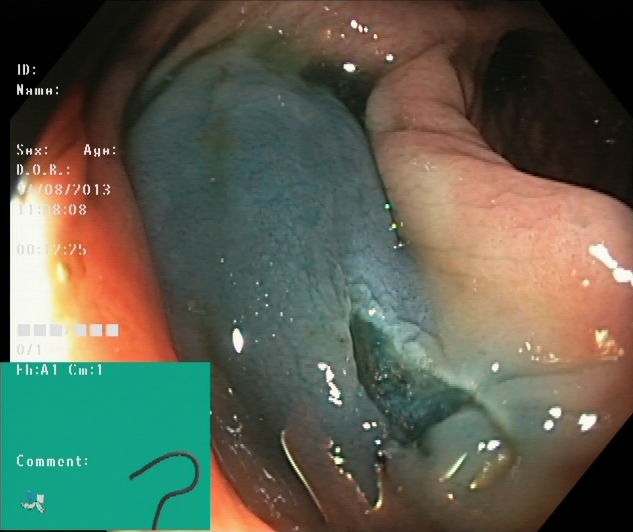PROCEDURE: Colonoscopy.
CATEGORY: Therapeutic intervention.
FINDINGS: Dyed resection margins (post-polypectomy).